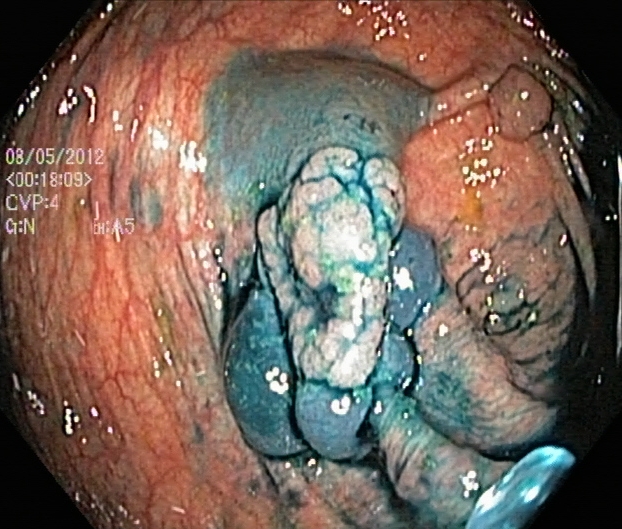Endoscopic image showing dyed and lifted polyp (pre-resection).